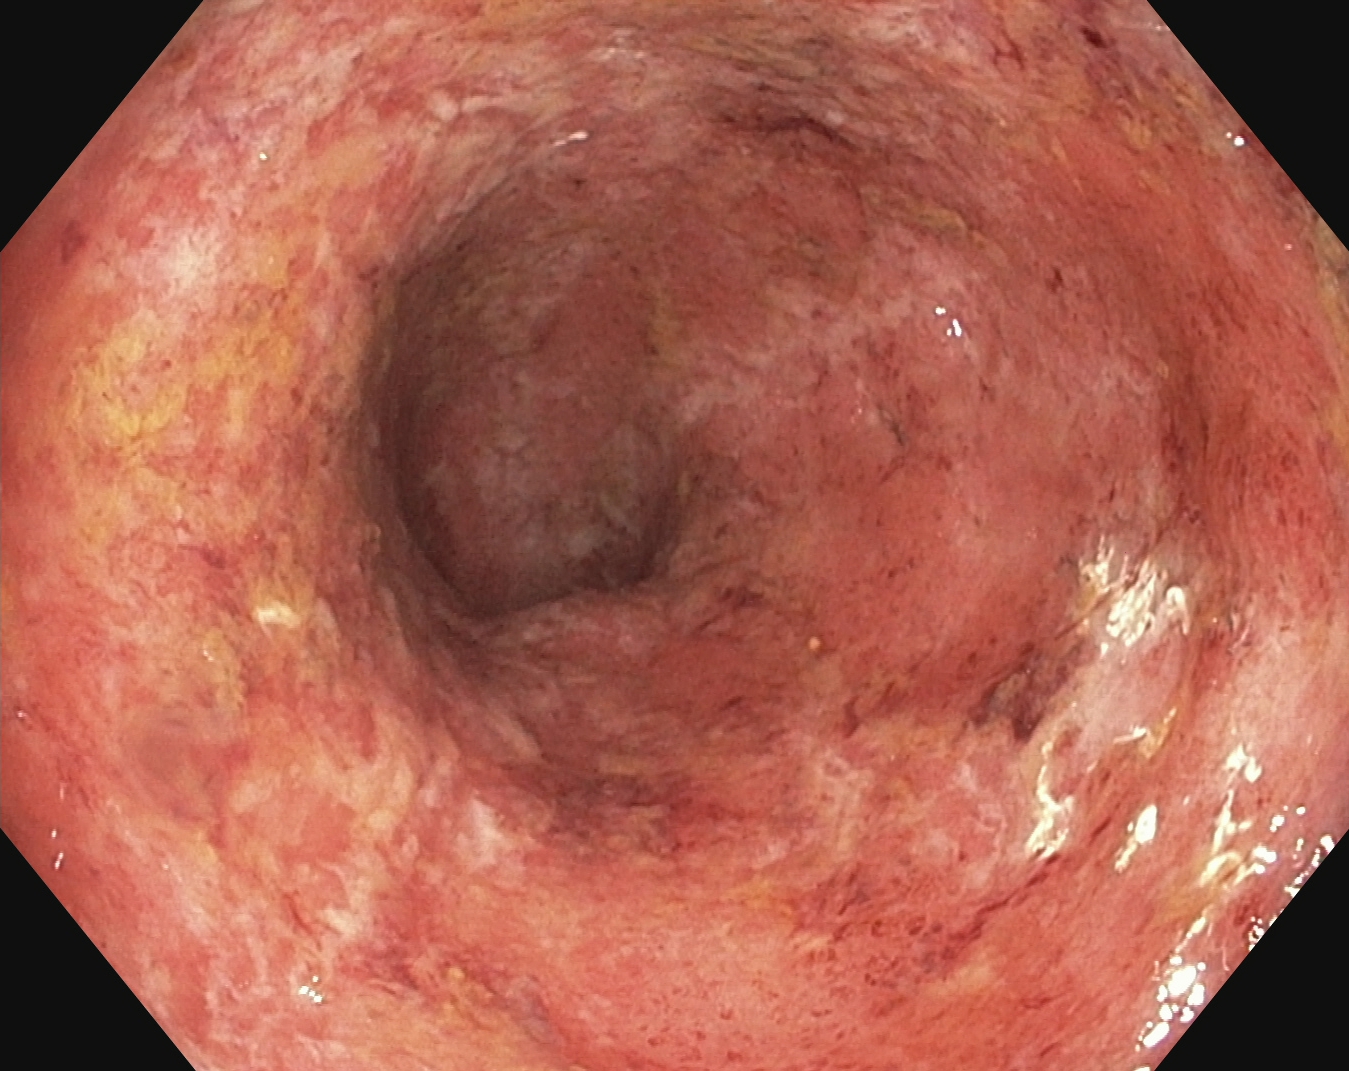modality: colonoscopy; tract: lower GI tract; finding: ulcerative colitis, Mayo endoscopic subscore 2